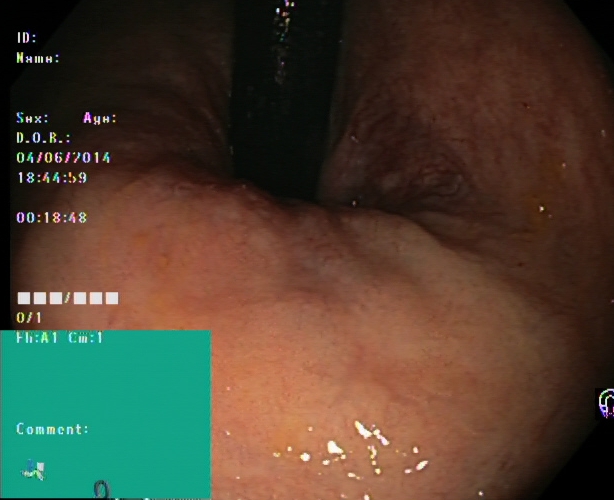Lower gastrointestinal endoscopy image of the lower GI tract showing rectum in retroflexion.